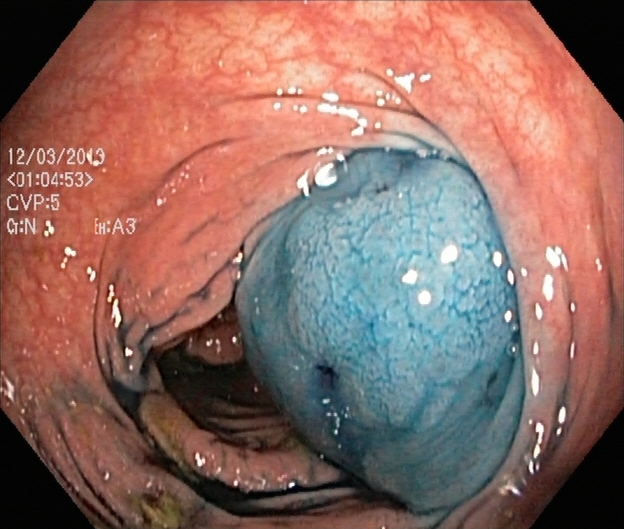Colonoscopy — dyed and lifted polyp (pre-resection).